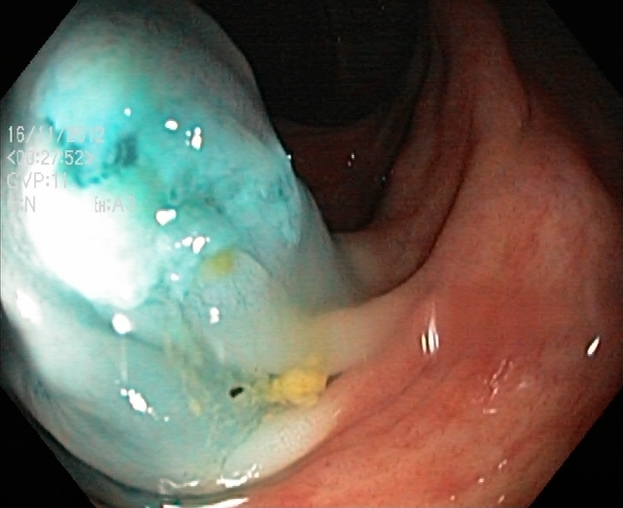Lower gastrointestinal endoscopy. Tract: lower GI tract. Finding: dyed and lifted polyp (pre-resection).